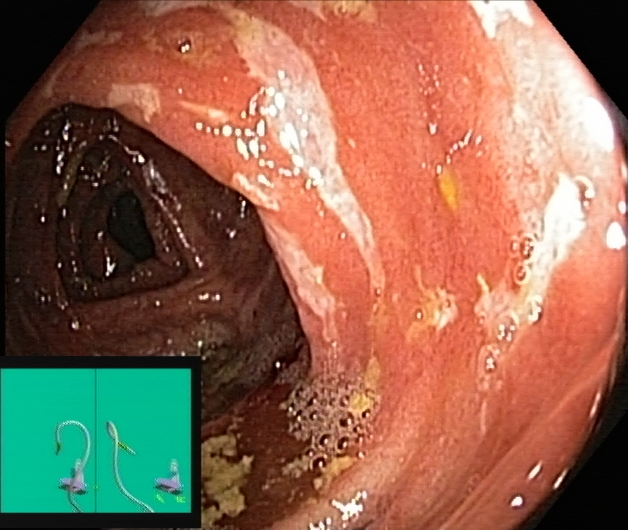modality: lower gastrointestinal endoscopy
tract: lower GI tract
finding: ulcerative colitis, Mayo endoscopic subscore 3